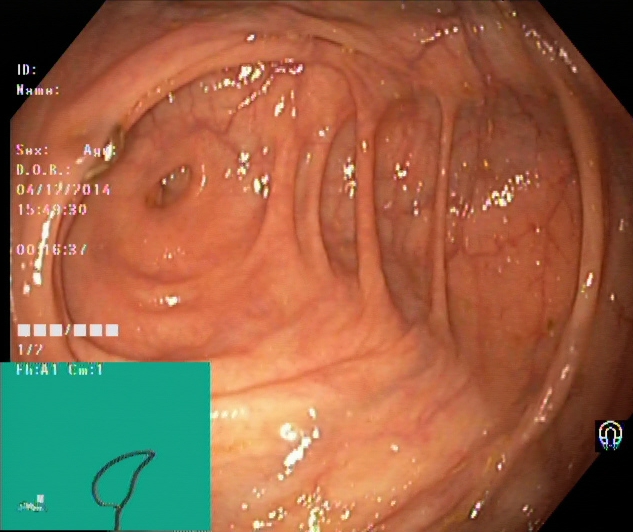cecum.